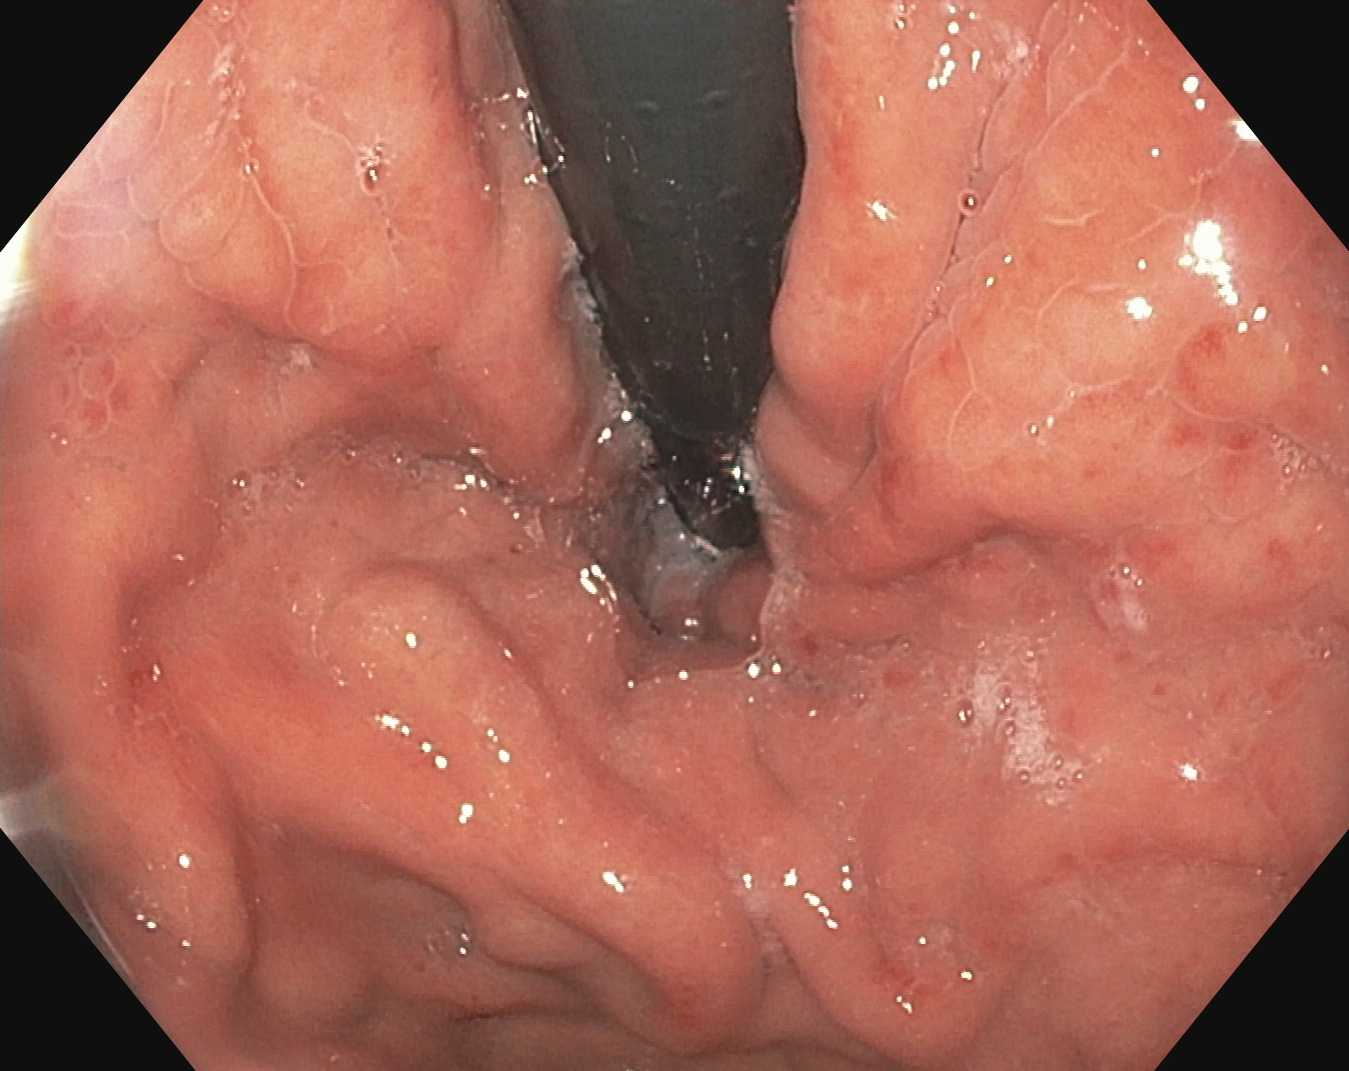EGD. Finding: stomach in retroflexion.